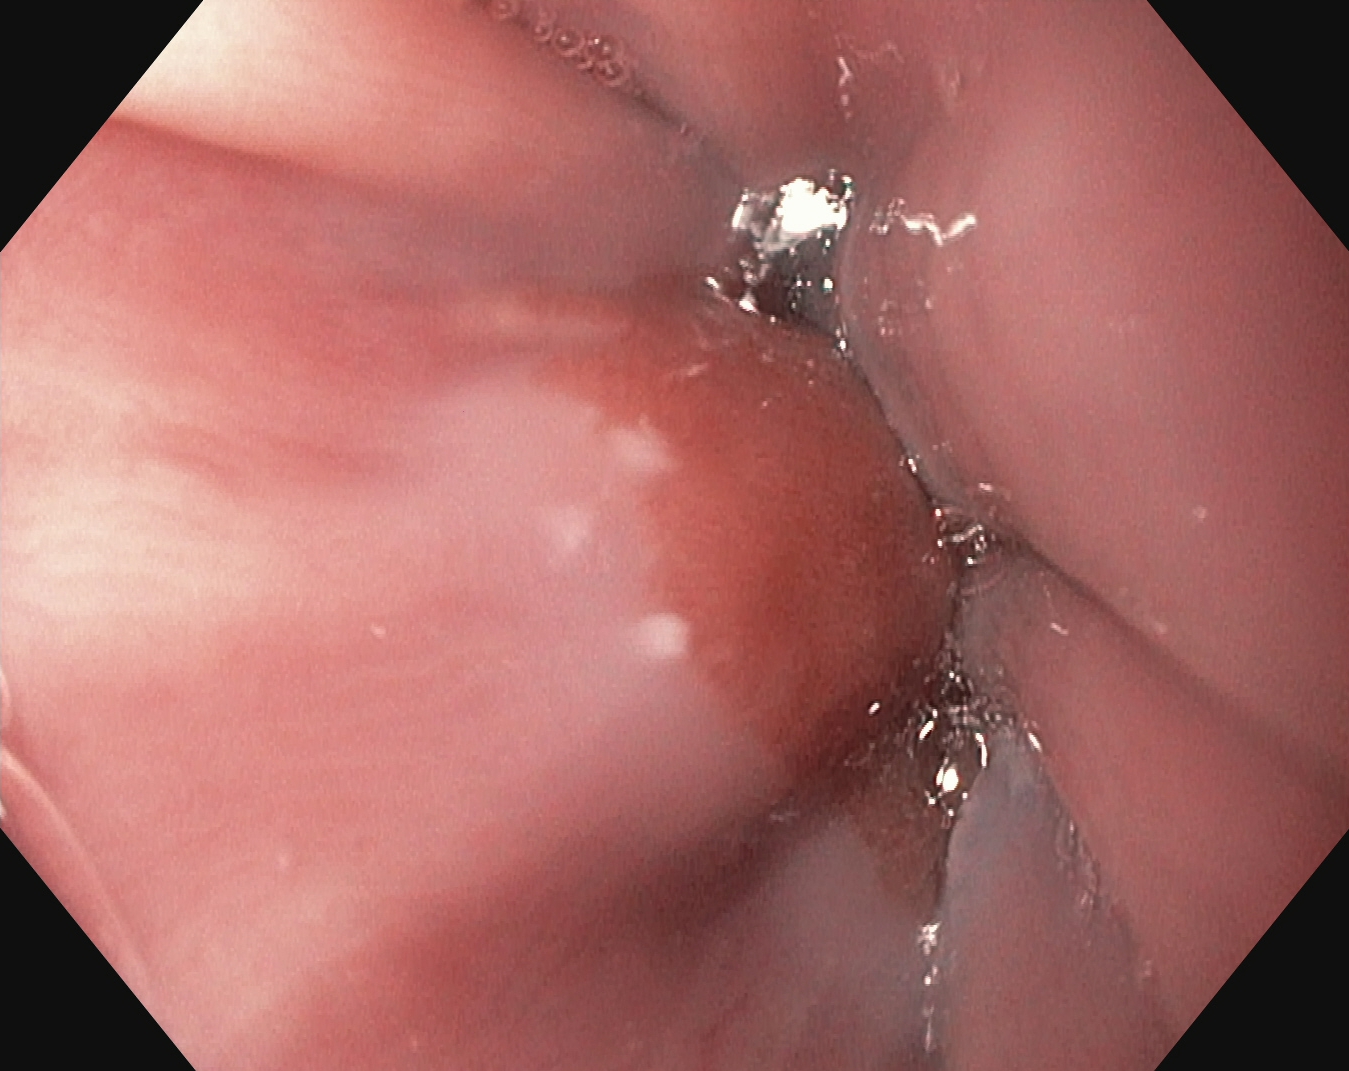Endoscopy image of the upper GI tract showing Z-line (gastroesophageal junction).